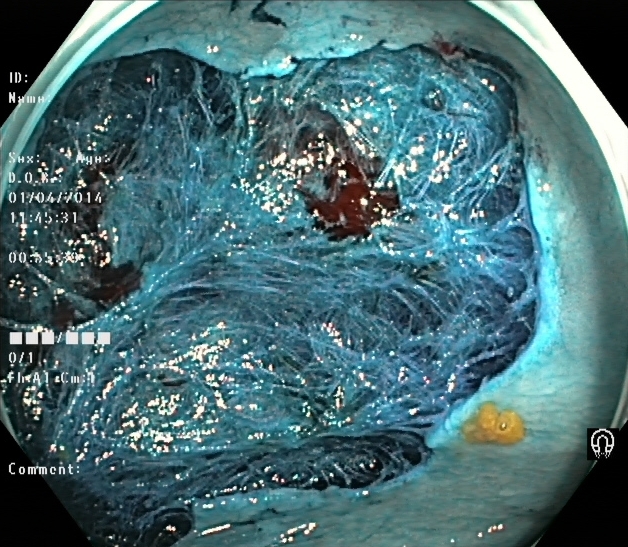{"modality": "lower gastrointestinal endoscopy", "tract": "lower GI tract", "finding": "dyed resection margins (post-polypectomy)"}